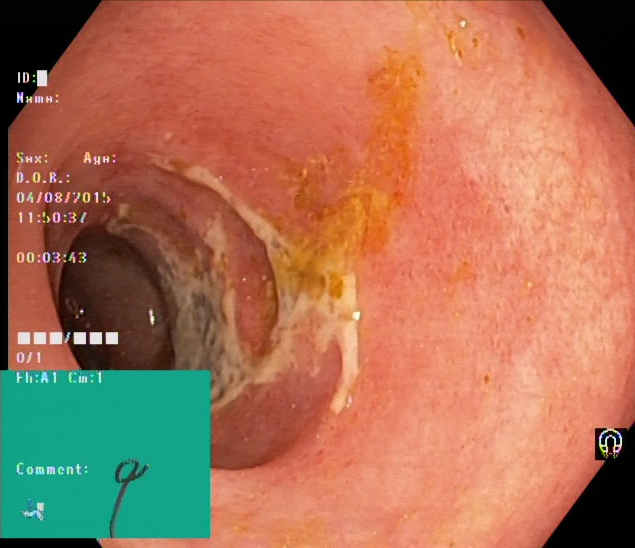Endoscopy image showing ulcerative colitis, Mayo endoscopic subscore 1.